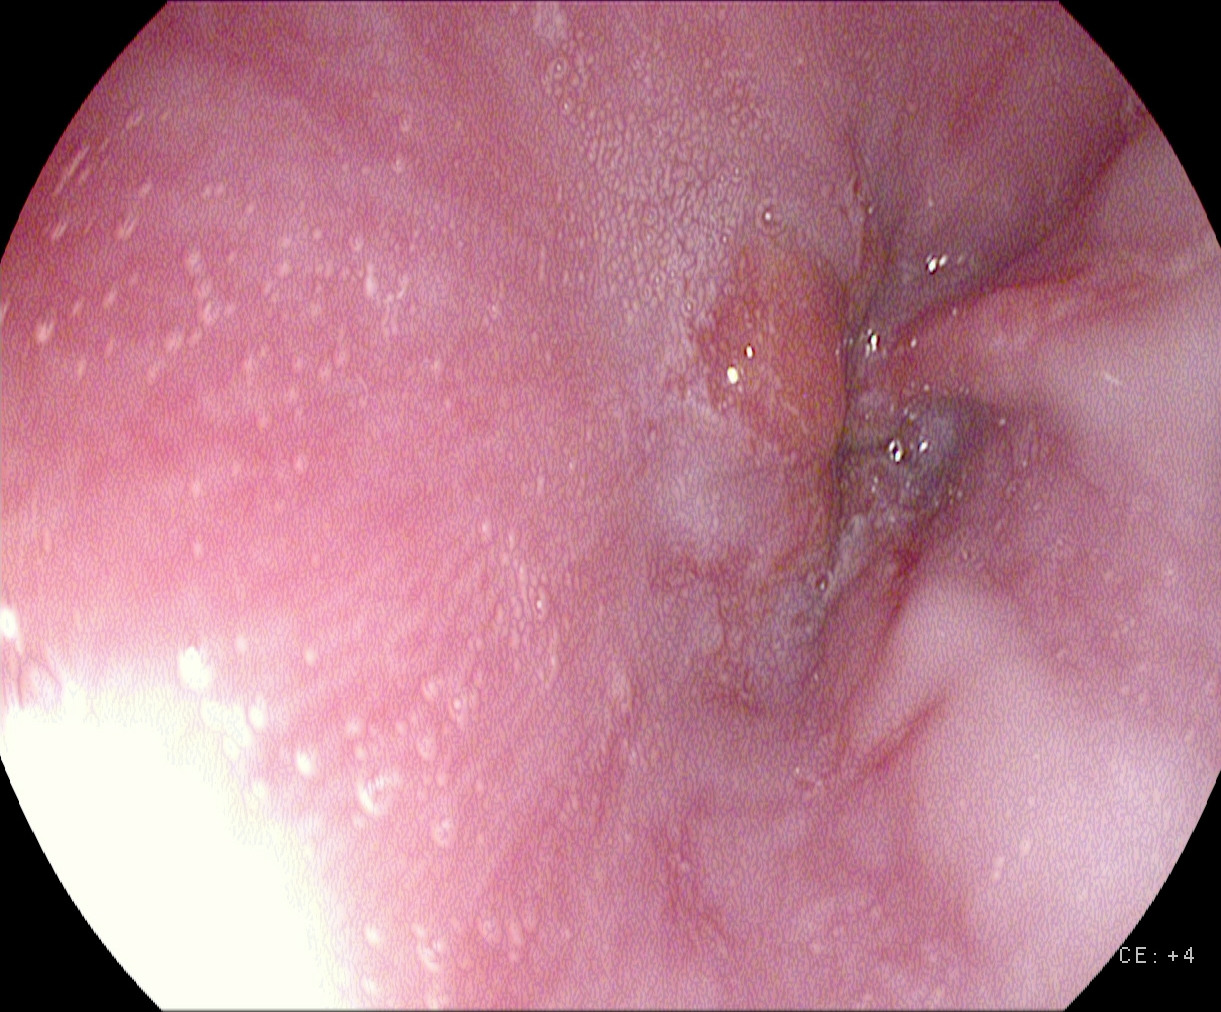EGD. Tract: upper GI tract. Pathological finding. Finding: reflux esophagitis, Los Angeles grade A.